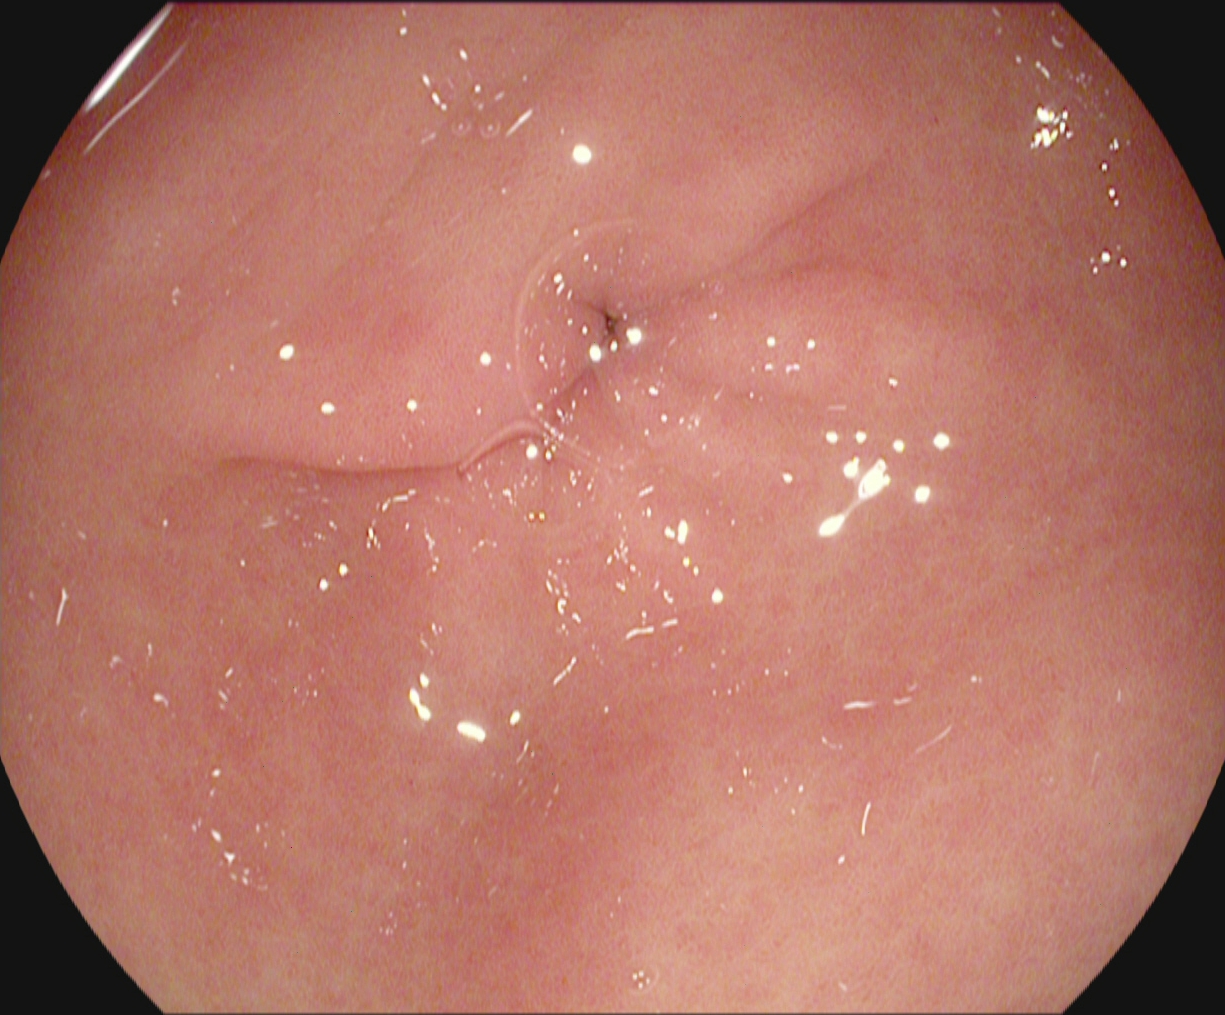modality: esophagogastroduodenoscopy; tract: upper GI tract; finding: pylorus